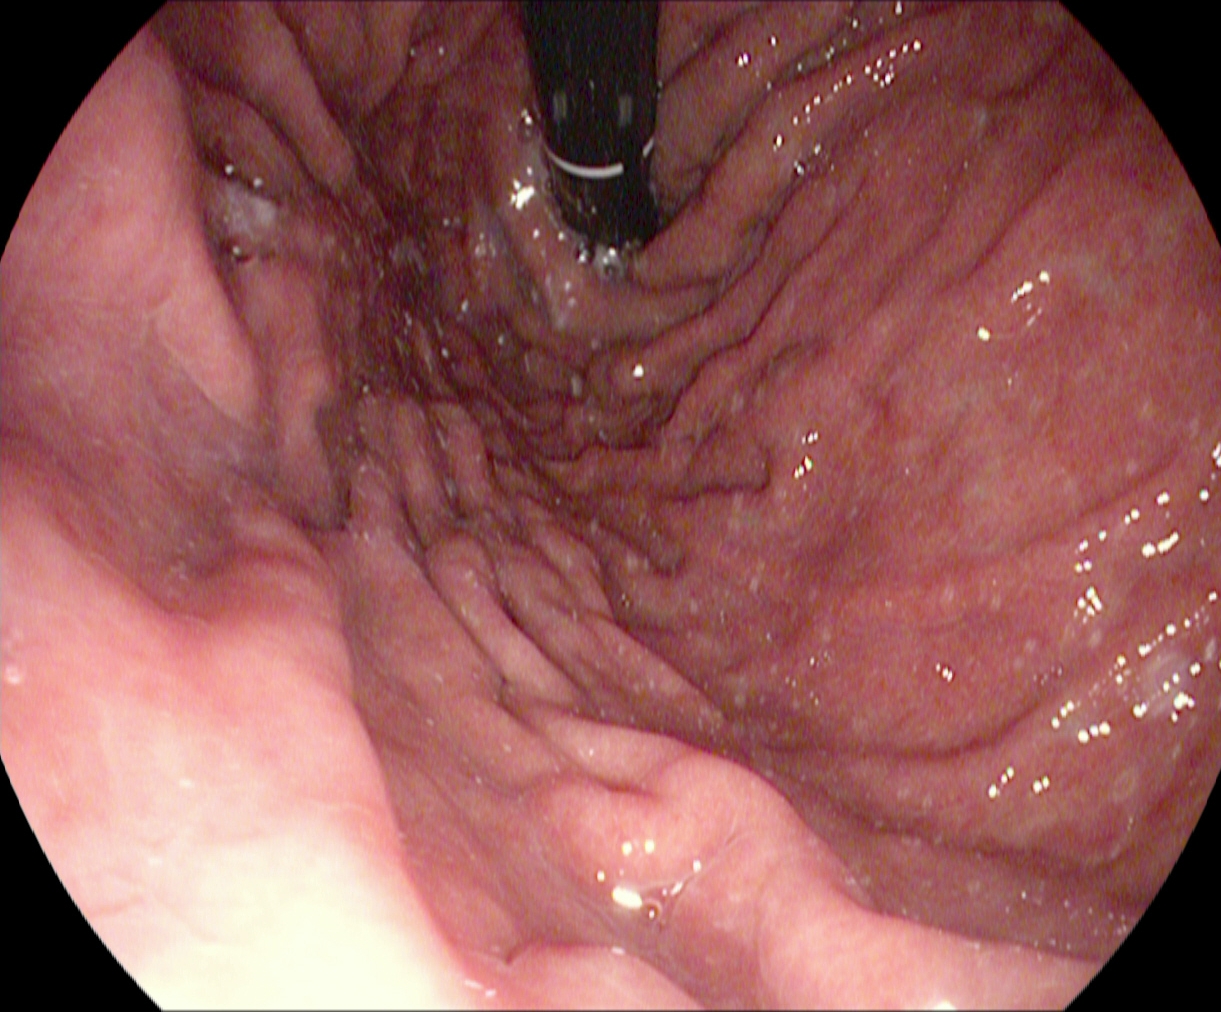Esophagogastroduodenoscopy. Finding: stomach in retroflexion.